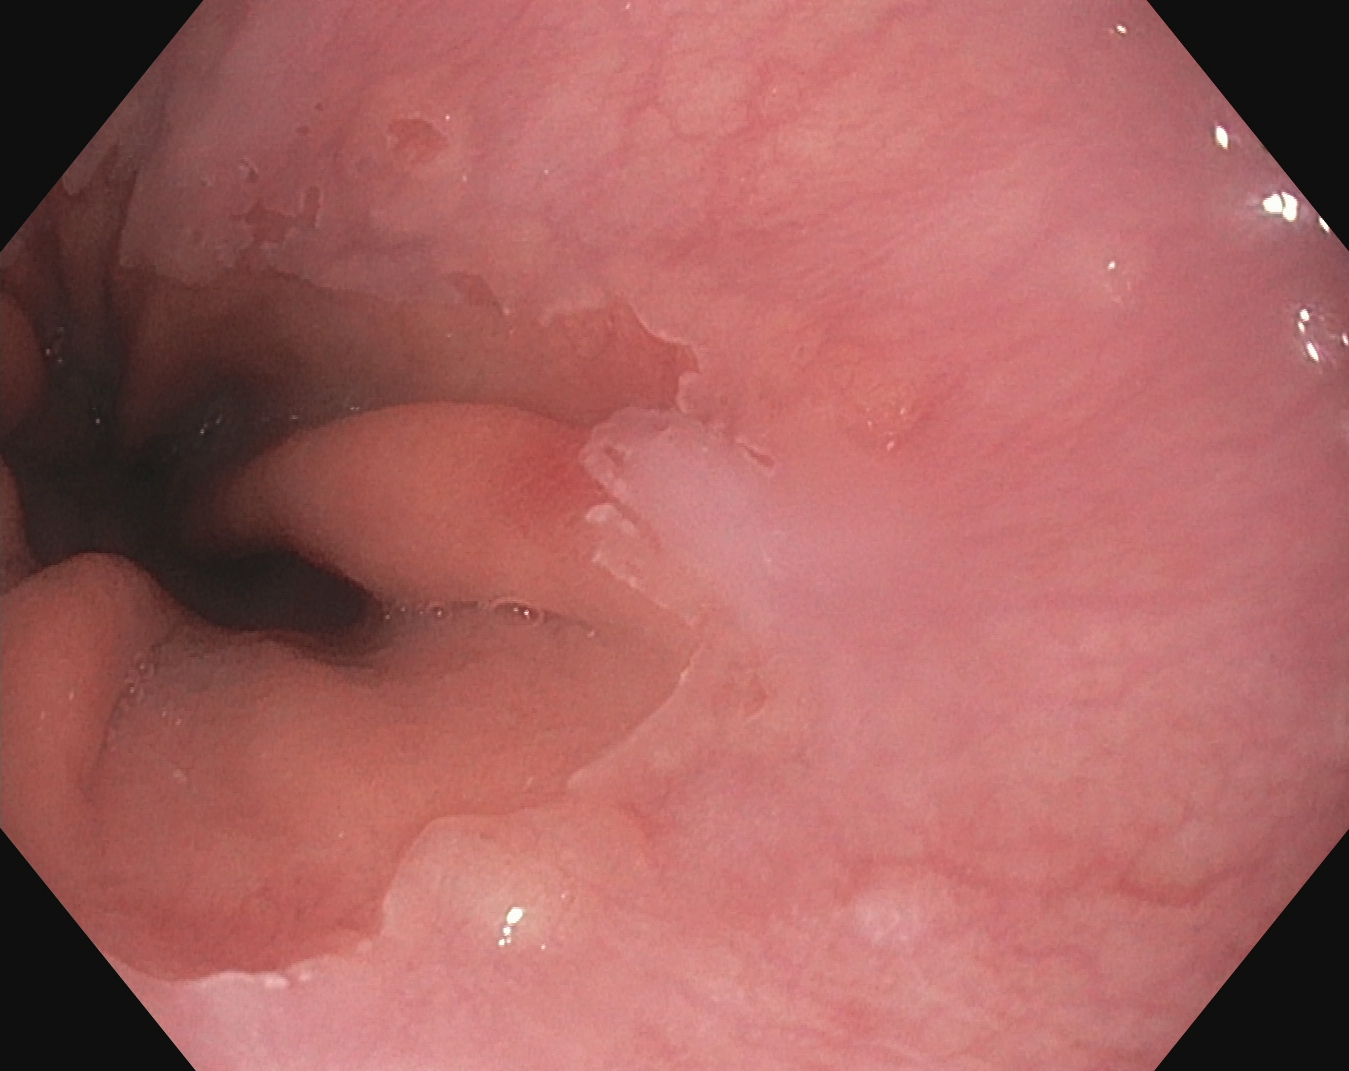modality: EGD
finding: Z-line (gastroesophageal junction)